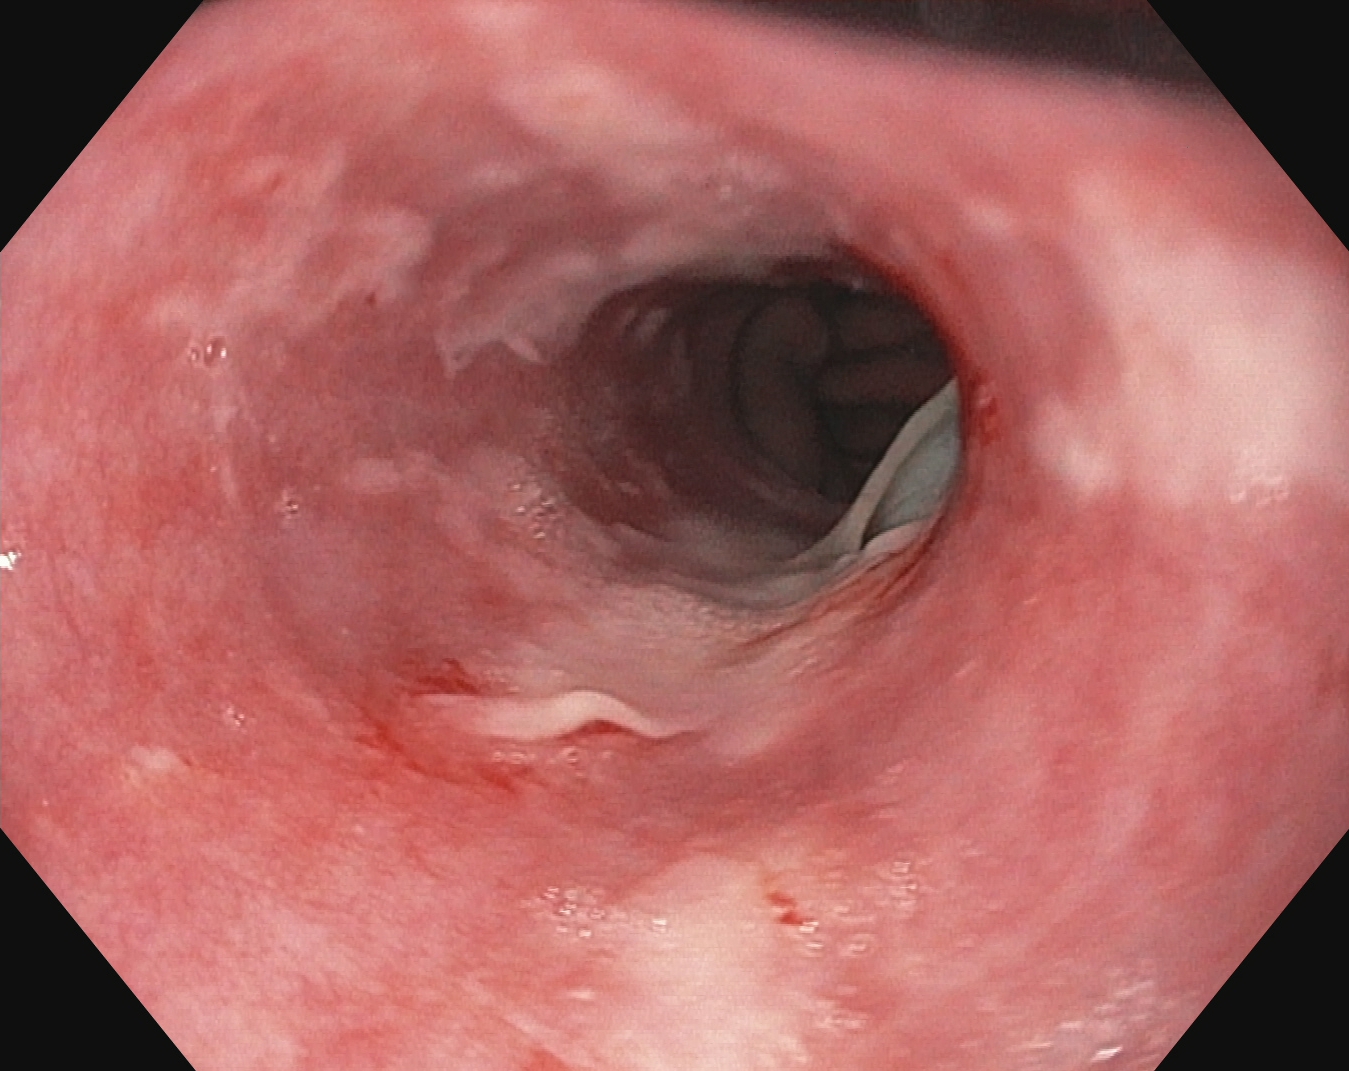Gastroscopy. Tract: upper GI tract. Finding: reflux esophagitis, Los Angeles grade B–D.